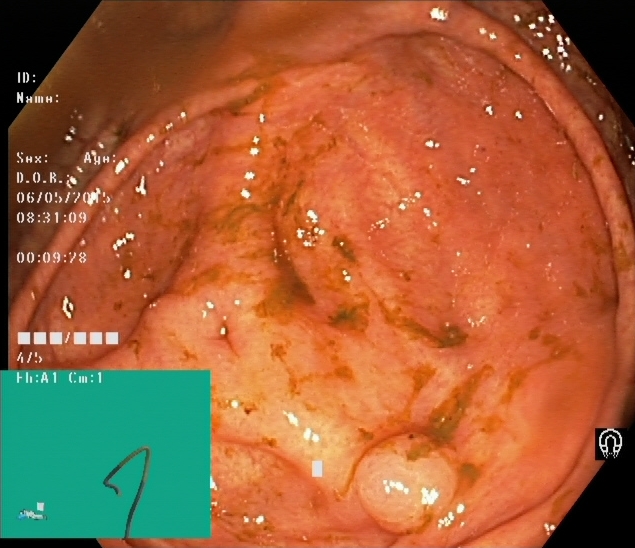Lower gastrointestinal endoscopy — cecum.